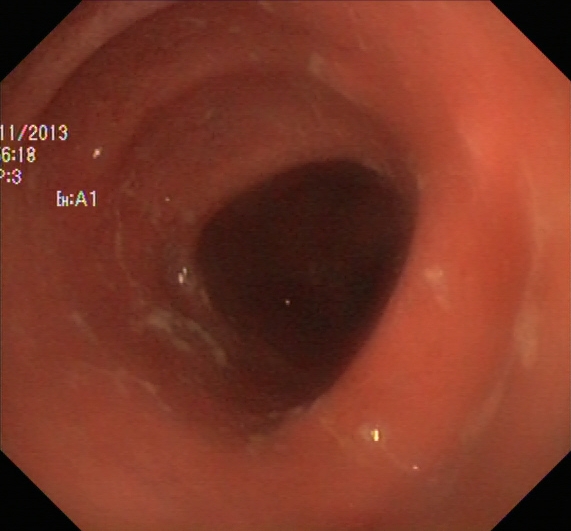Colonoscopy — ulcerative colitis, Mayo endoscopic subscore 2.